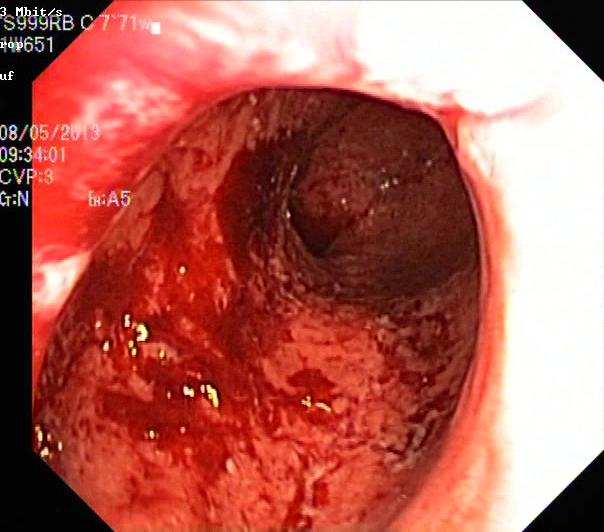modality: lower gastrointestinal endoscopy | tract: lower GI tract | finding: ulcerative colitis, Mayo endoscopic subscore 3